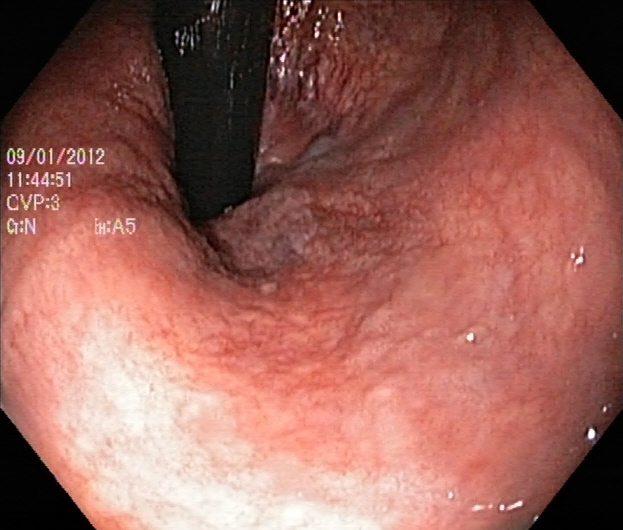Colonoscopy. Anatomical landmark. Finding: rectum in retroflexion.